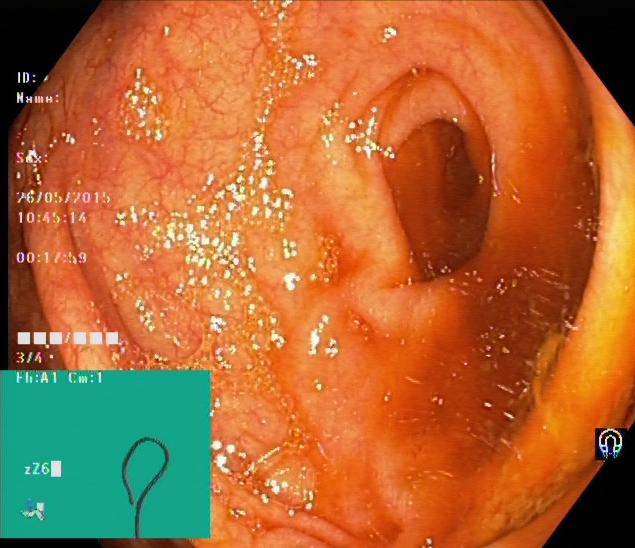{"modality": "lower gastrointestinal endoscopy", "finding": "cecum"}